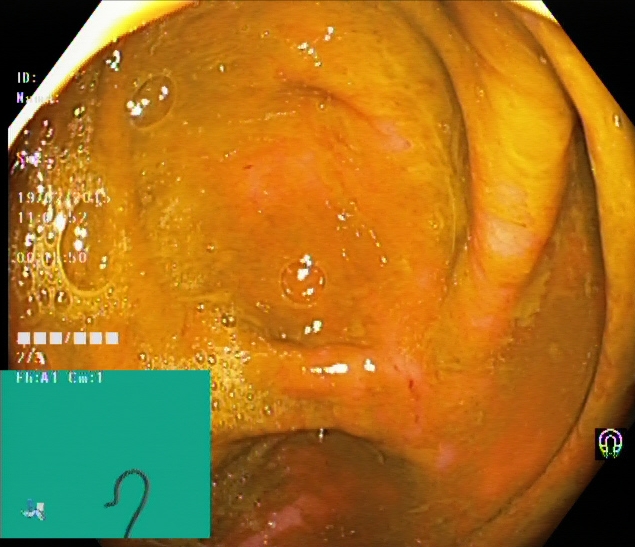{"modality": "colonoscopy", "tract": "lower GI tract", "finding": "cecum"}